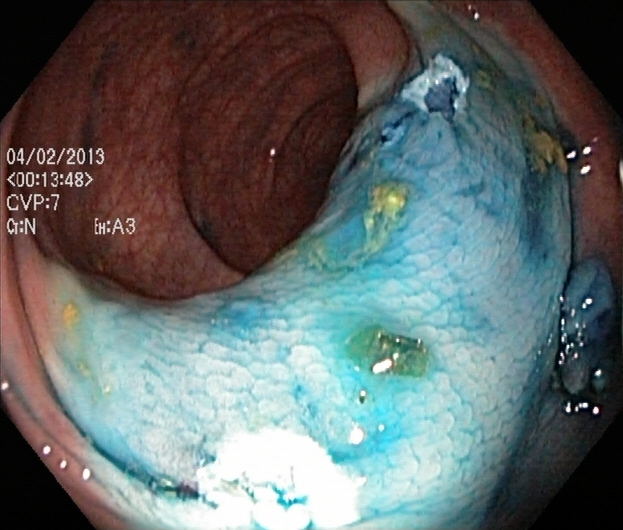Colonoscopy image of the lower GI tract showing dyed resection margins (post-polypectomy).